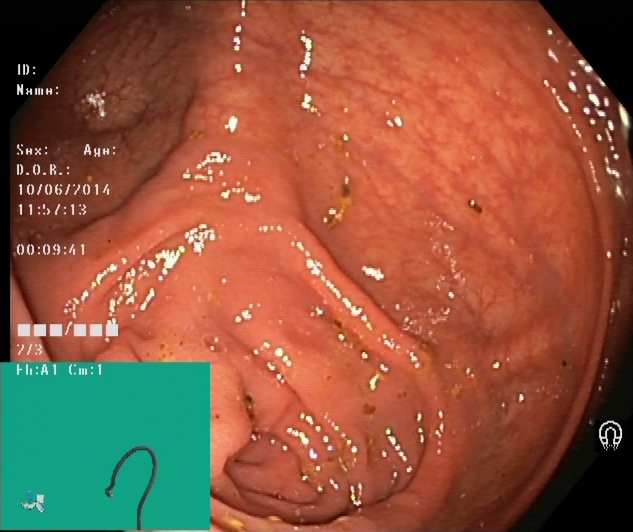This endoscopic image of the lower GI tract shows cecum.